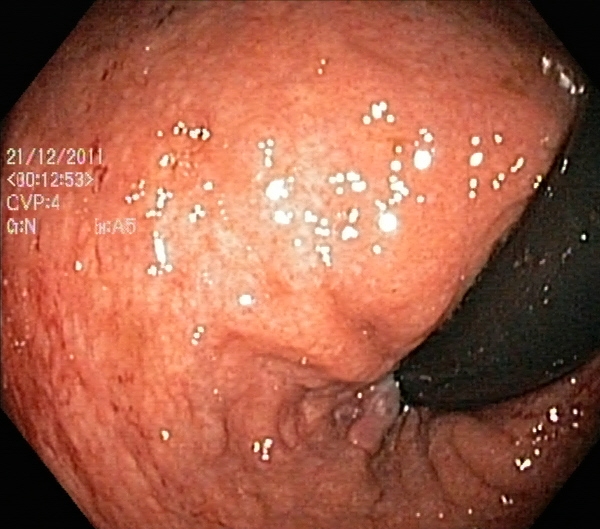Lower gastrointestinal endoscopy — ulcerative colitis, Mayo endoscopic subscore 0–1.